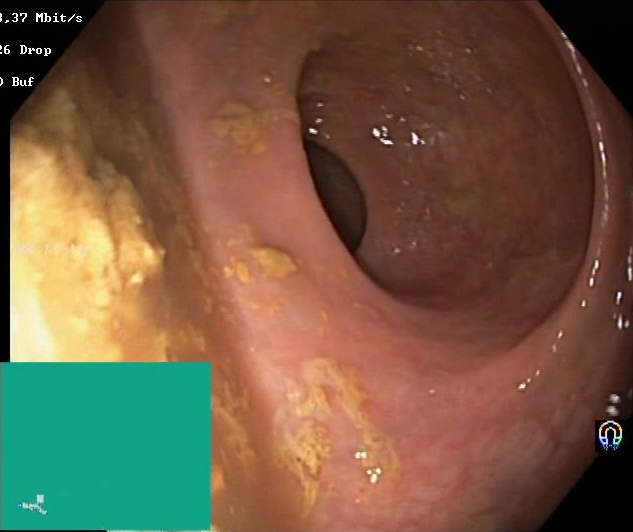Lower gastrointestinal endoscopy. Tract: lower GI tract. Mucosal-view quality. Finding: Boston Bowel Preparation Scale score 0–1 (inadequate preparation).